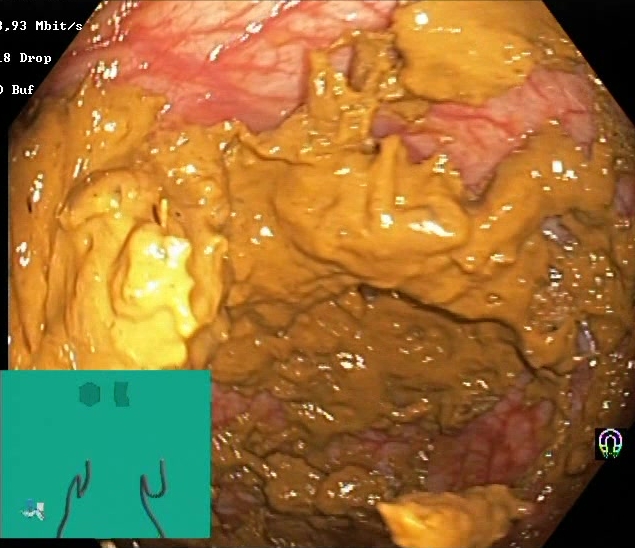{"modality": "colonoscopy", "finding": "Boston Bowel Preparation Scale score 0\u20131 (inadequate preparation)"}